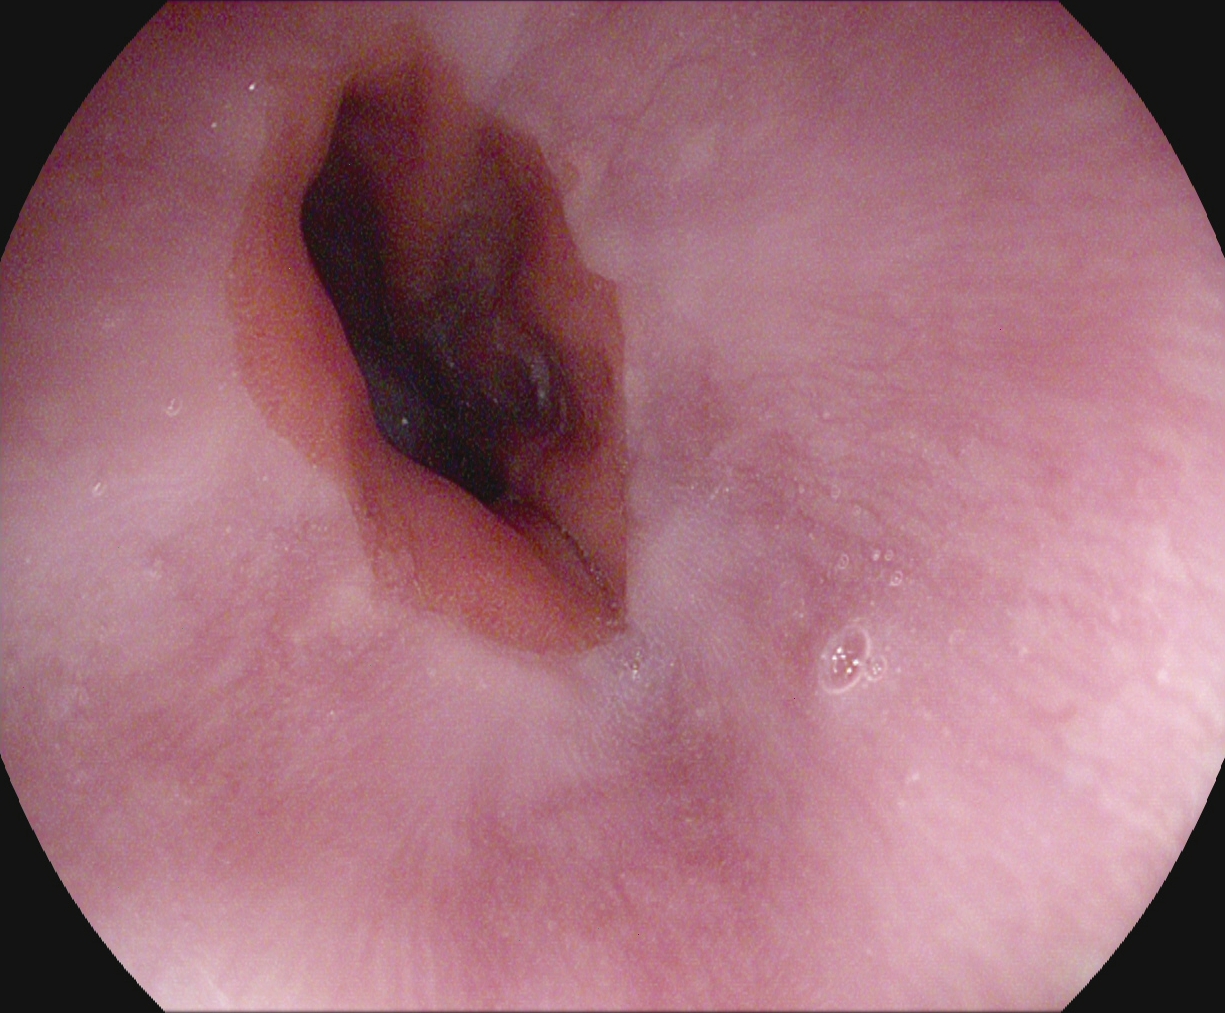{"modality": "esophagogastroduodenoscopy", "tract": "upper GI tract", "finding": "Z-line (gastroesophageal junction)"}